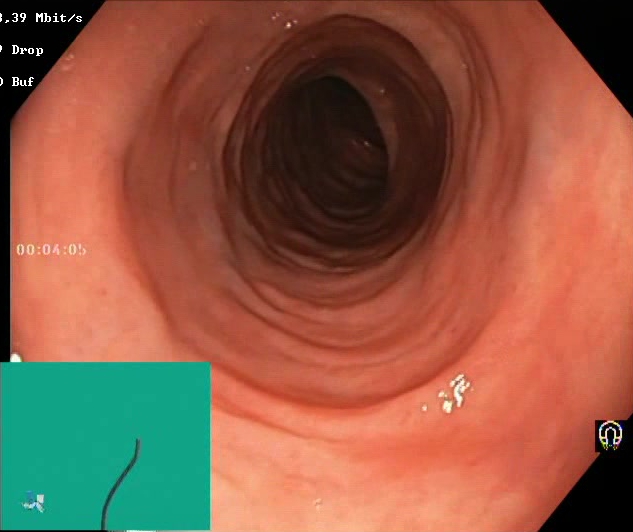Colonoscopy — Boston Bowel Preparation Scale score 2–3 (adequate preparation).